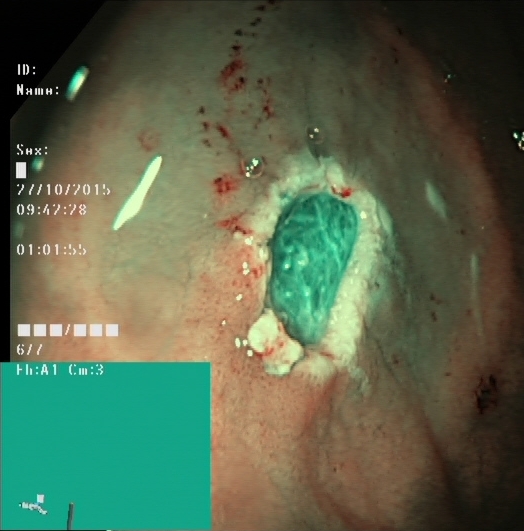PROCEDURE: Colonoscopy.
FINDINGS: Dyed resection margins (post-polypectomy).